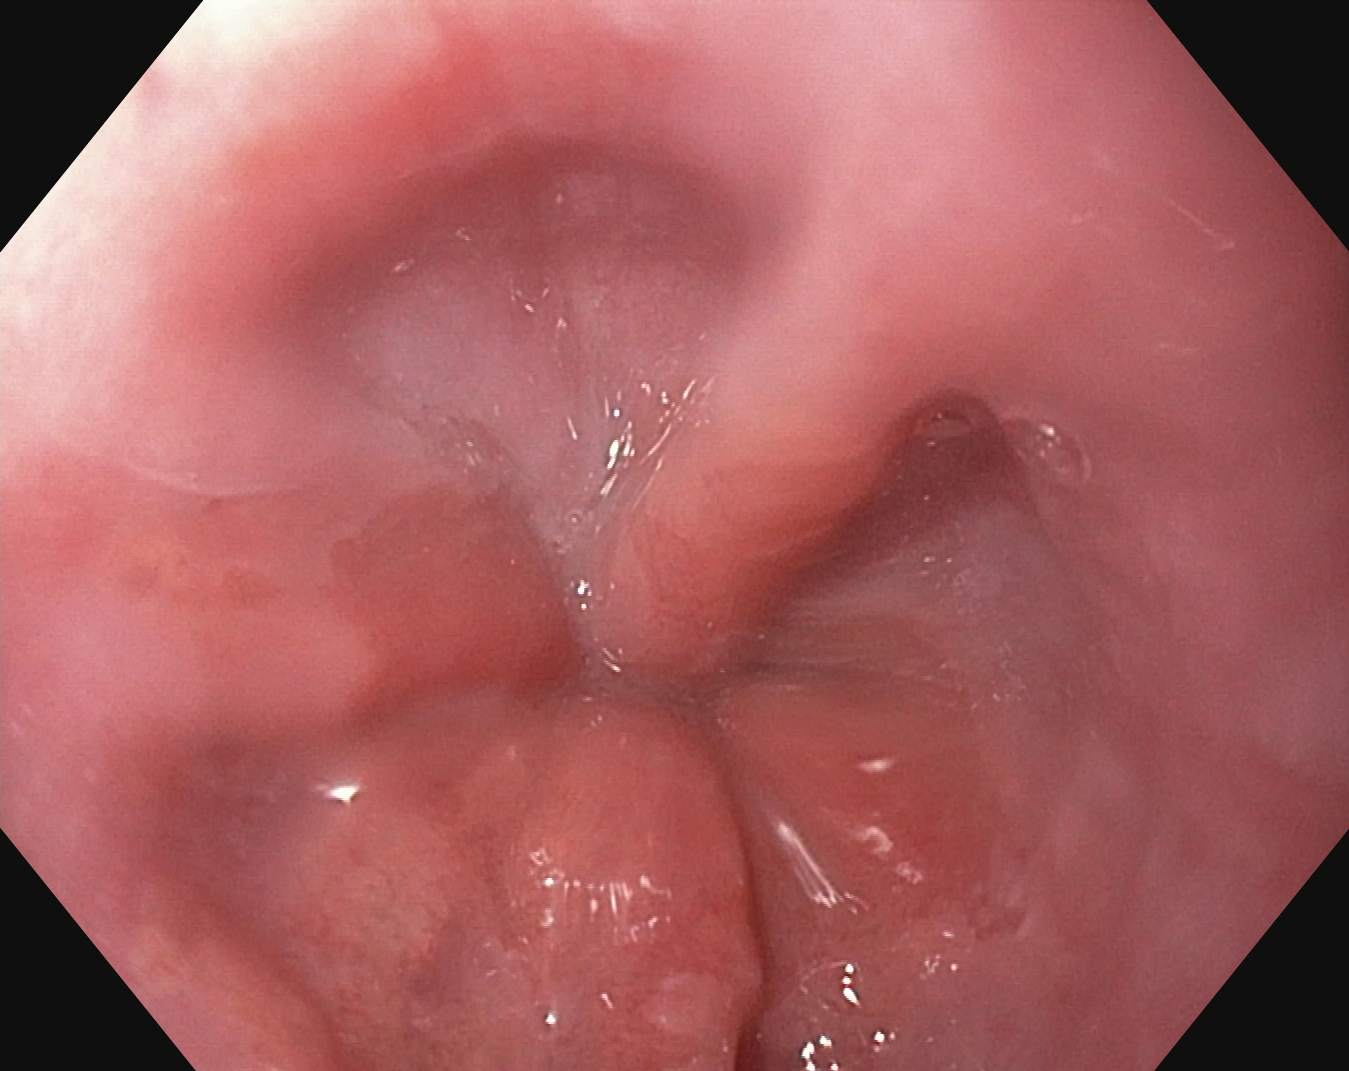Z-line (gastroesophageal junction).